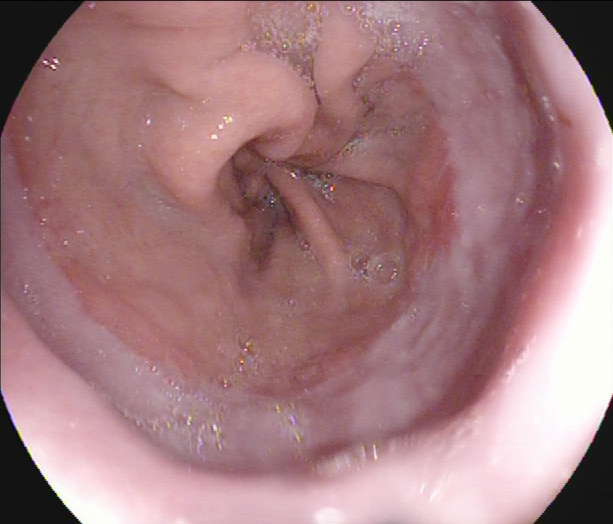modality: upper-GI endoscopy
tract: upper GI tract
category: pathological finding
finding: reflux esophagitis, Los Angeles grade A